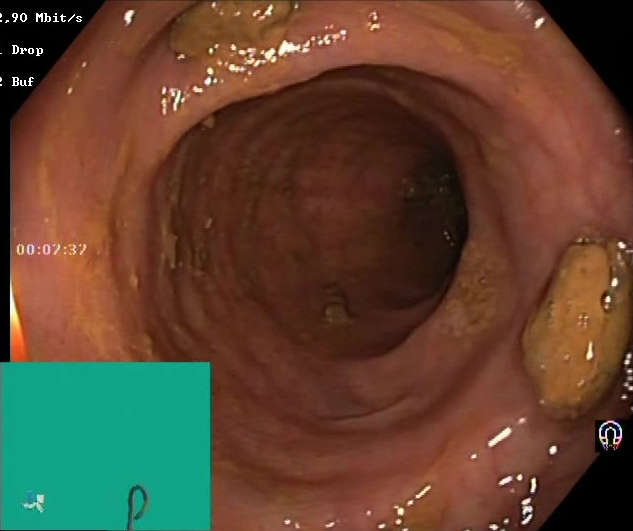PROCEDURE: Lower gastrointestinal endoscopy.
FINDINGS: Impacted stool.